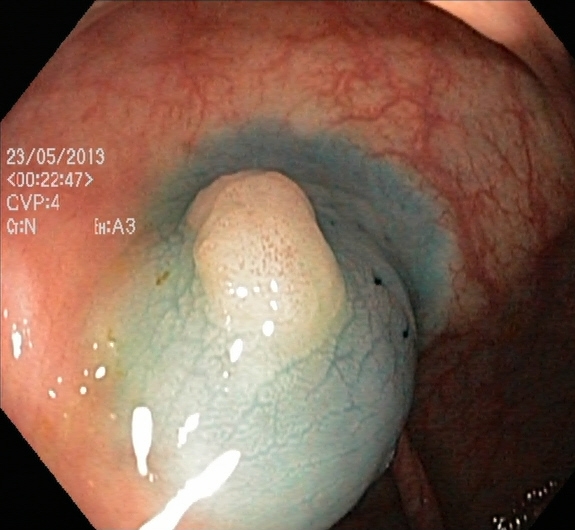Dyed and lifted polyp (pre-resection).